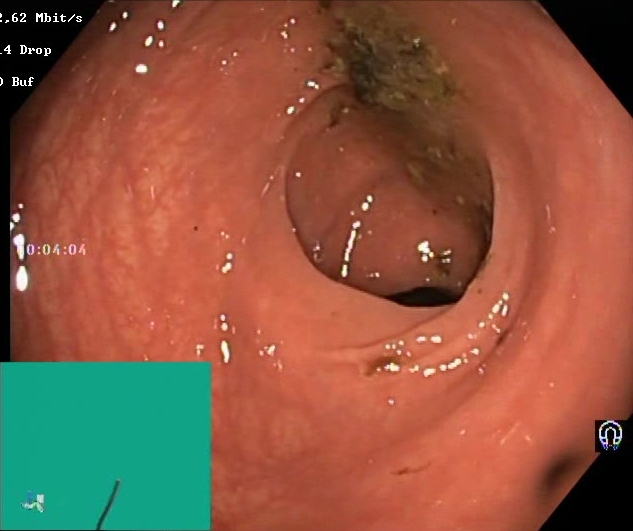Lower gastrointestinal endoscopy — BBPS score 0–1 (inadequate preparation).